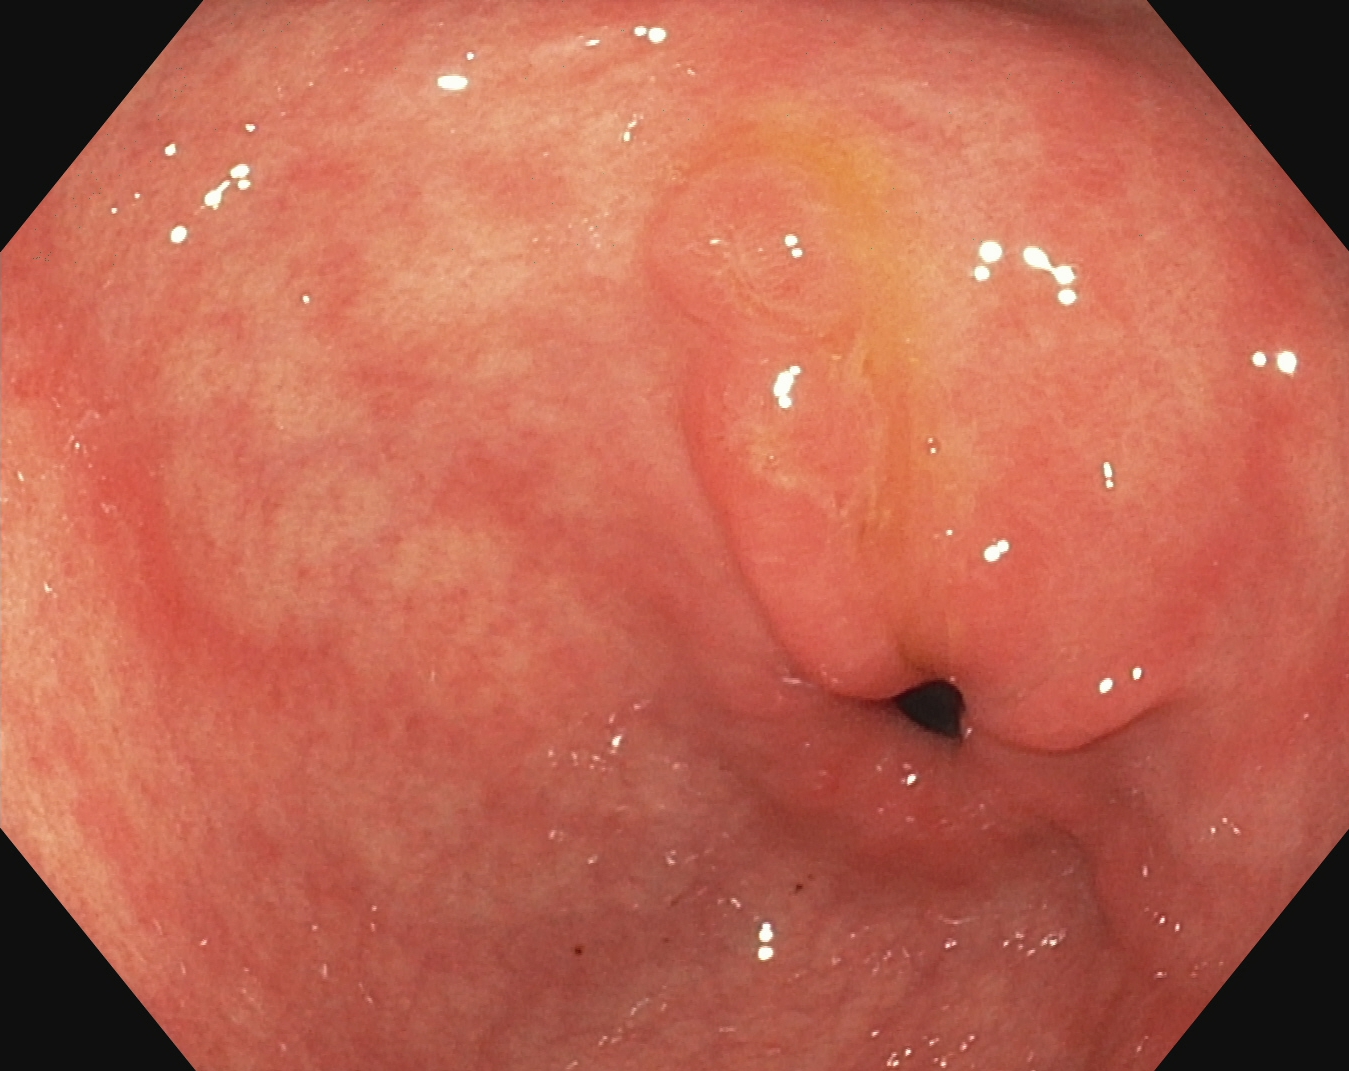{"modality": "upper-GI endoscopy", "tract": "upper GI tract", "finding": "pylorus"}